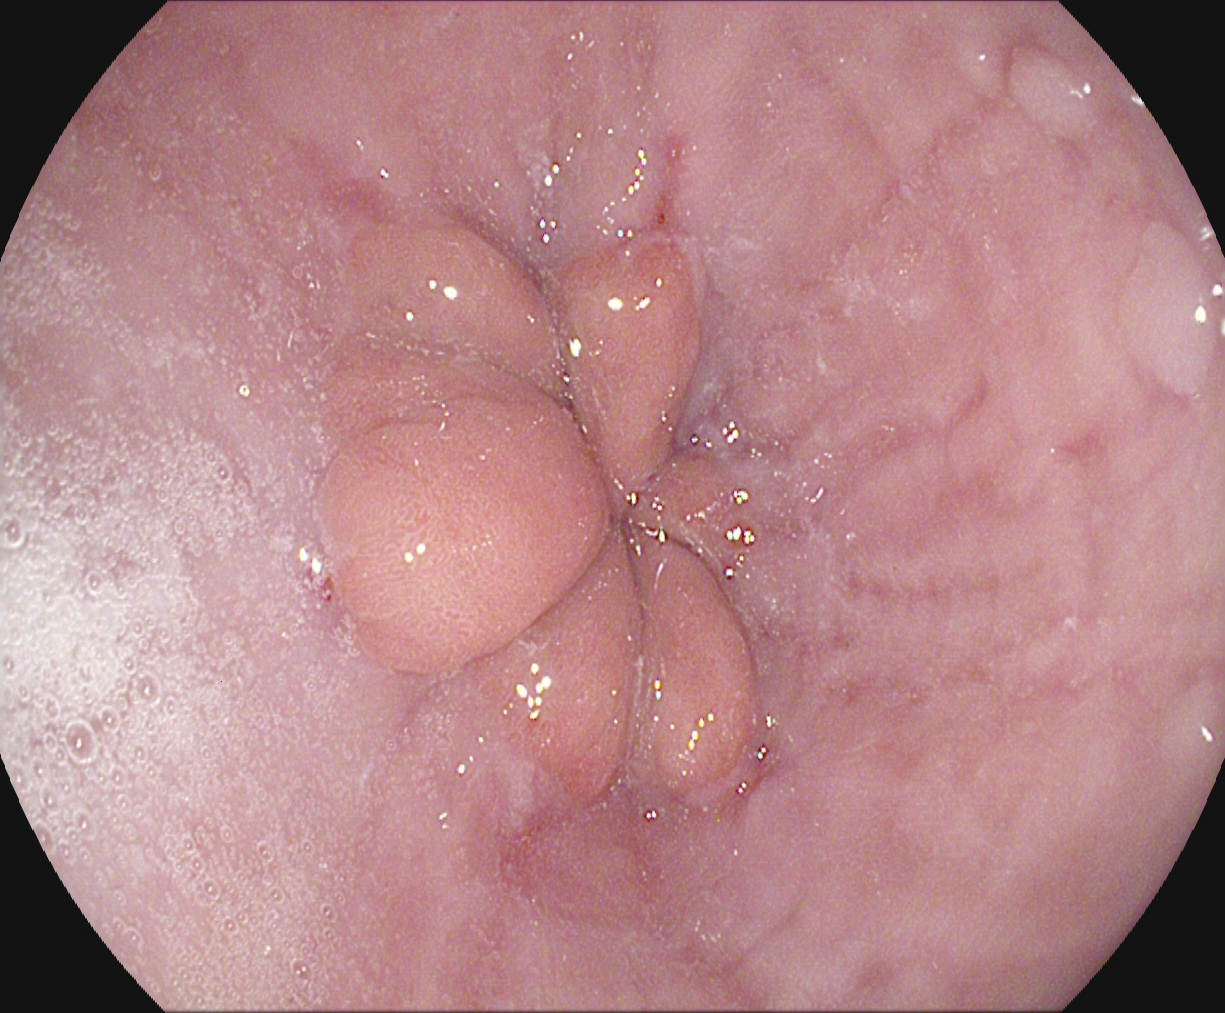Gastrointestinal endoscopy image of the upper GI tract showing reflux esophagitis, Los Angeles grade A.